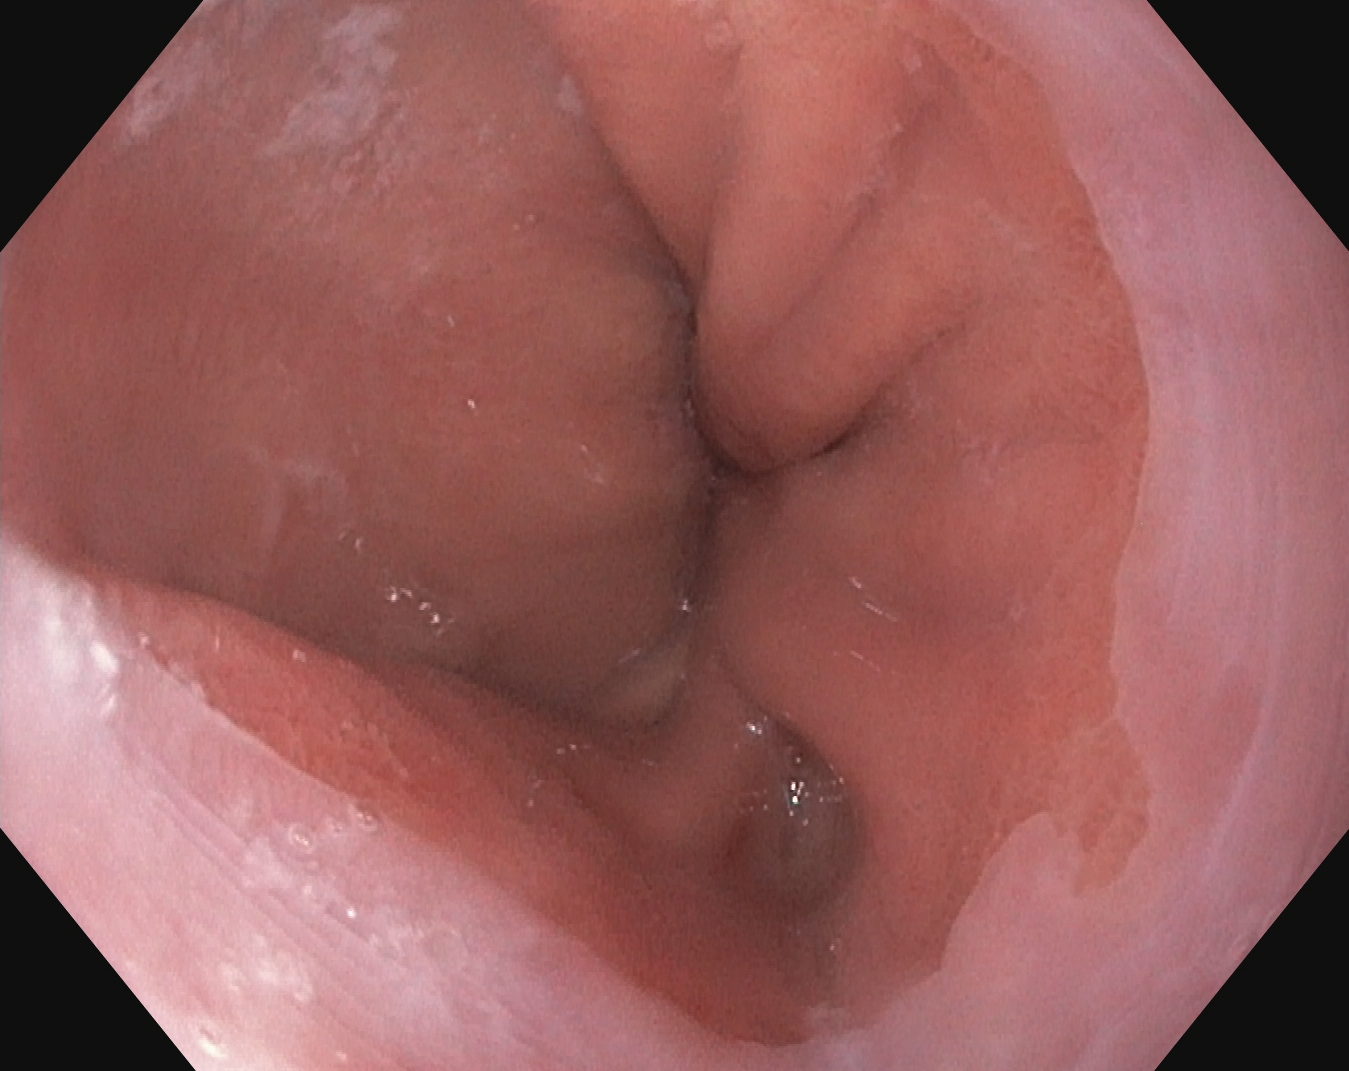Z-line (gastroesophageal junction).